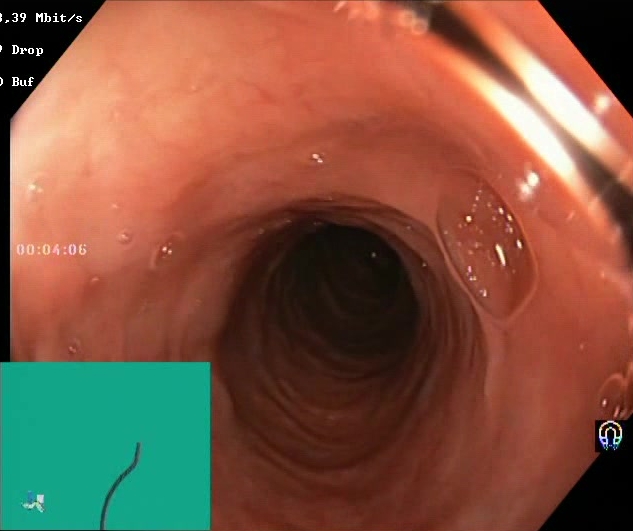Boston Bowel Preparation Scale score 2–3 (adequate preparation).